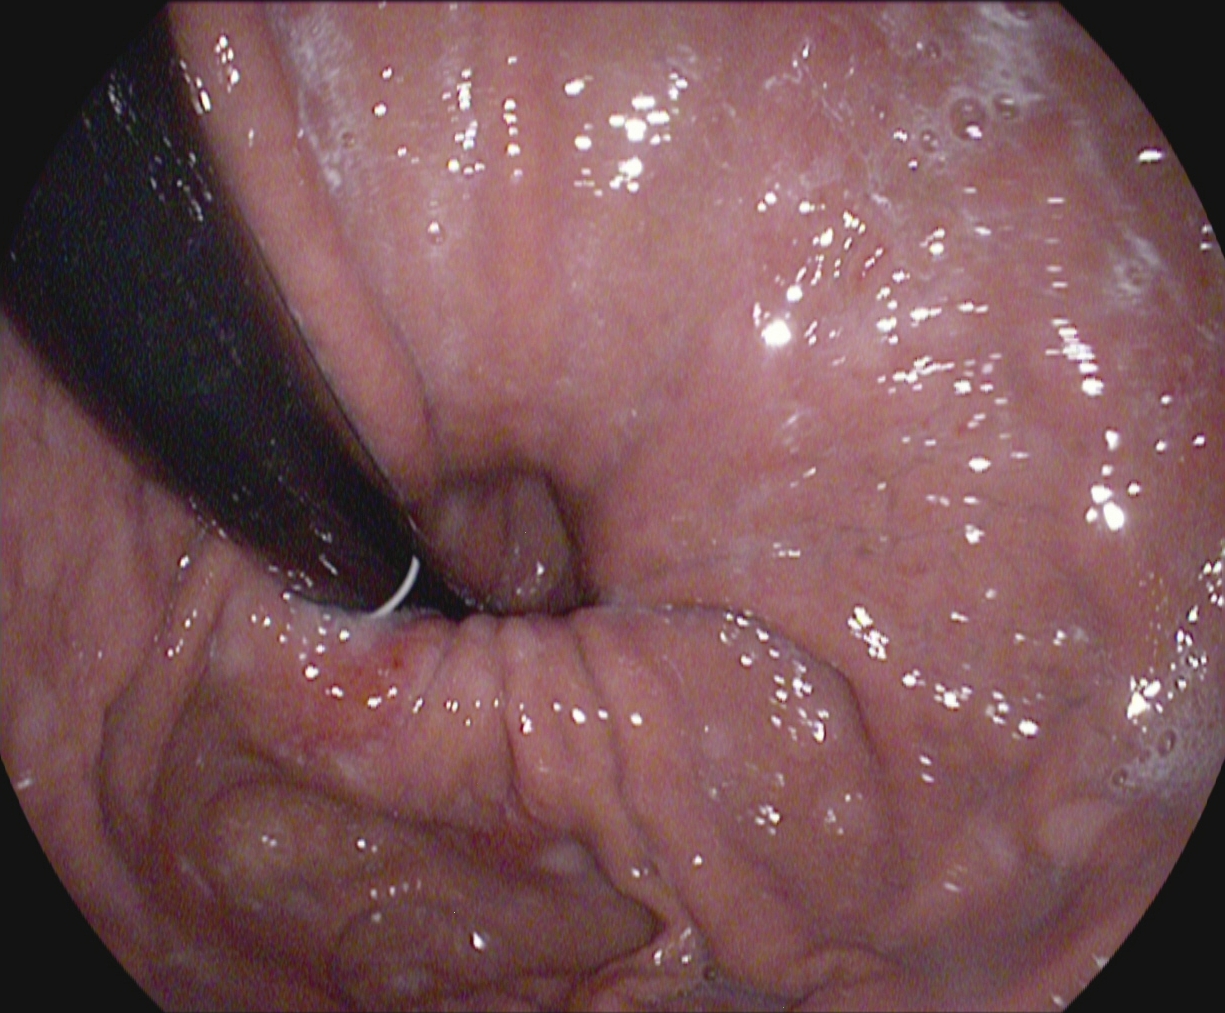Esophagogastroduodenoscopy — stomach in retroflexion.